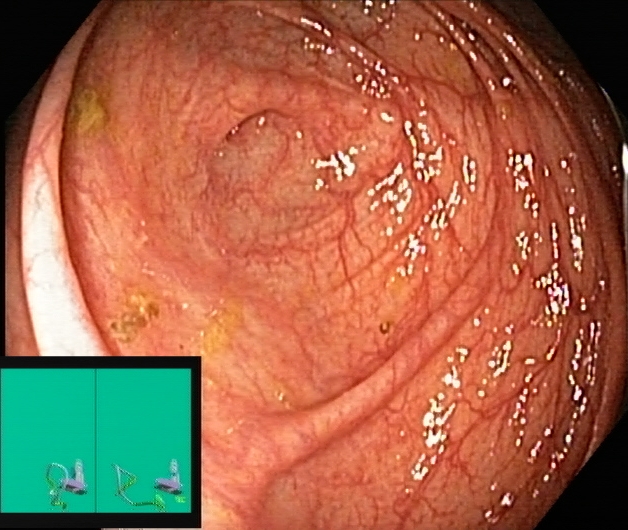PROCEDURE: Lower gastrointestinal endoscopy.
FINDINGS: Cecum.